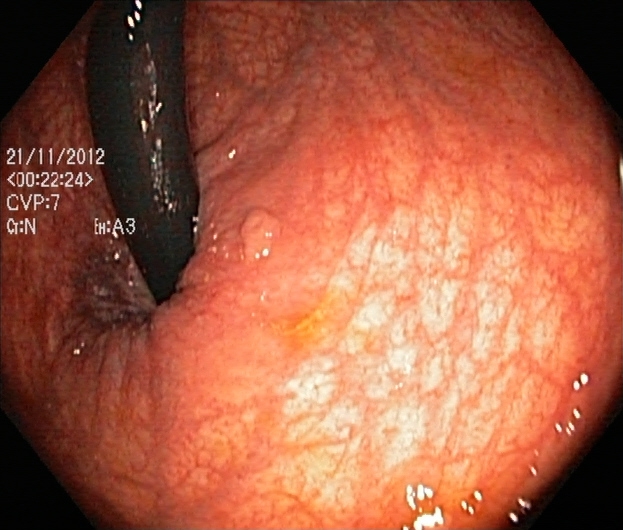PROCEDURE: Colonoscopy.
FINDINGS: Colorectal polyp(s).